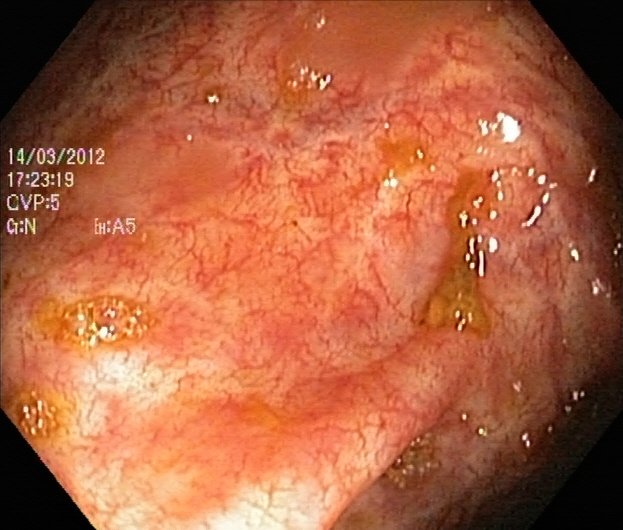modality: colonoscopy; tract: lower GI tract; finding: ulcerative colitis, Mayo endoscopic subscore 1